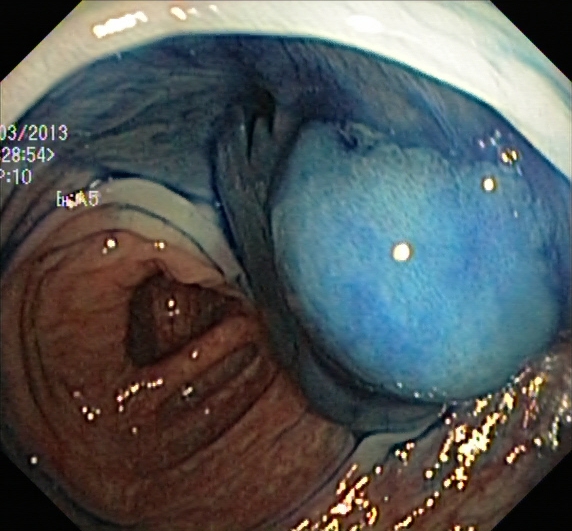This endoscopic image shows dyed and lifted polyp (pre-resection).